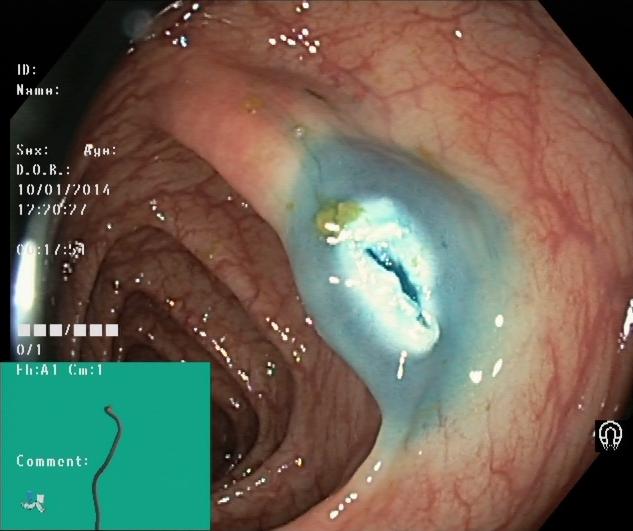dyed resection margins (post-polypectomy).